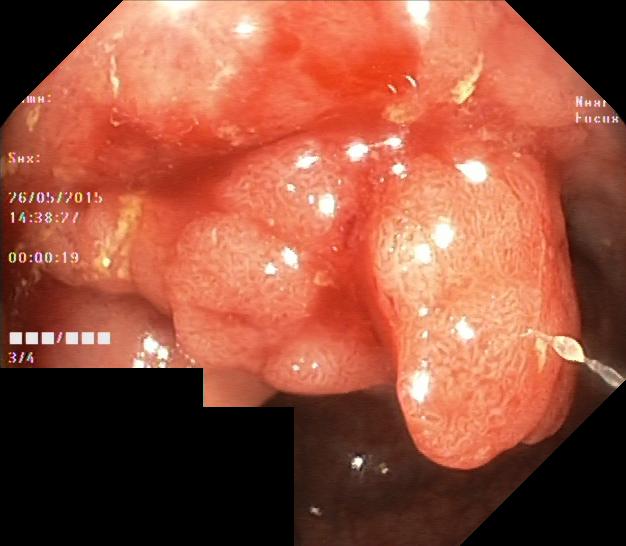{"modality": "lower gastrointestinal endoscopy", "finding": "colorectal polyp(s)"}